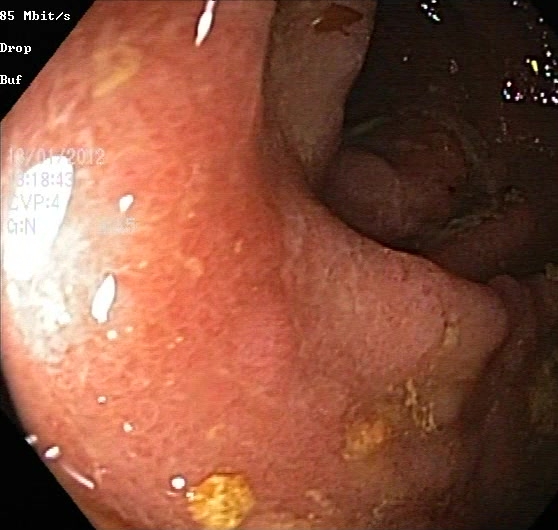Lower gastrointestinal endoscopy. Tract: lower GI tract. Pathological finding. Finding: ulcerative colitis, Mayo endoscopic subscore 2.